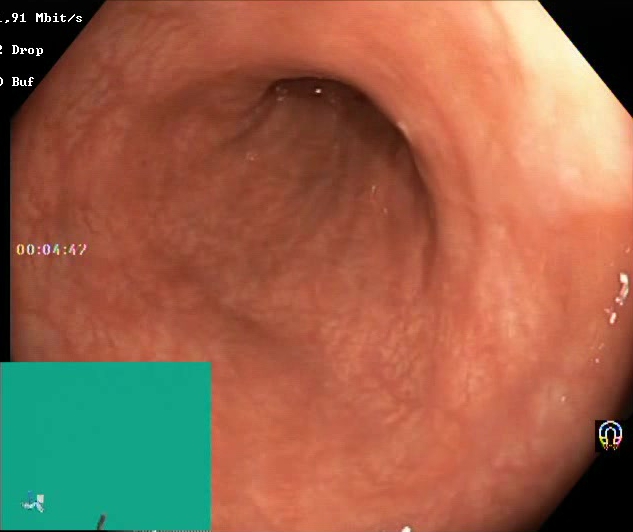Lower-GI endoscopy. Mucosal-view quality. Finding: Boston Bowel Preparation Scale score 2–3 (adequate preparation).